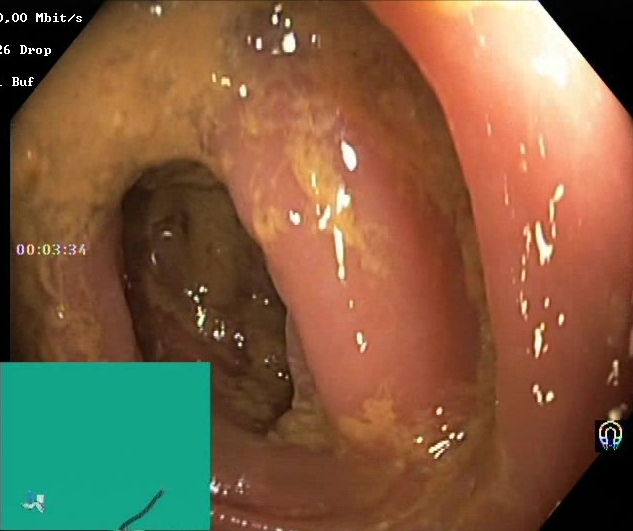Endoscopic image of the lower GI tract showing BBPS score 0–1 (inadequate preparation).